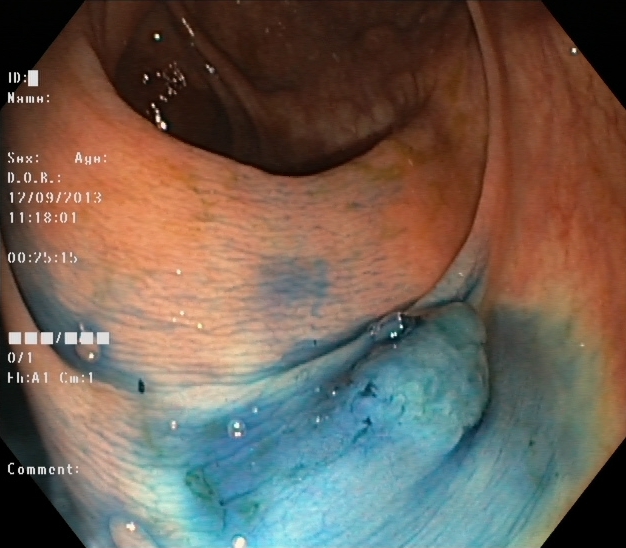Colonoscopy image showing dyed and lifted polyp (pre-resection).